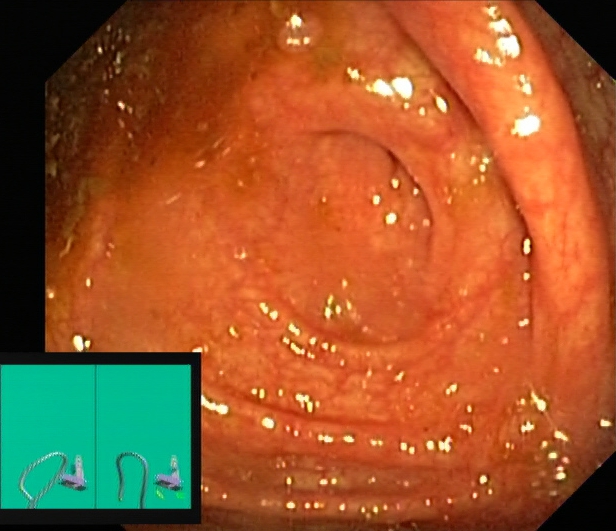{"modality": "lower gastrointestinal endoscopy", "tract": "lower GI tract", "category": "anatomical landmark", "finding": "cecum"}